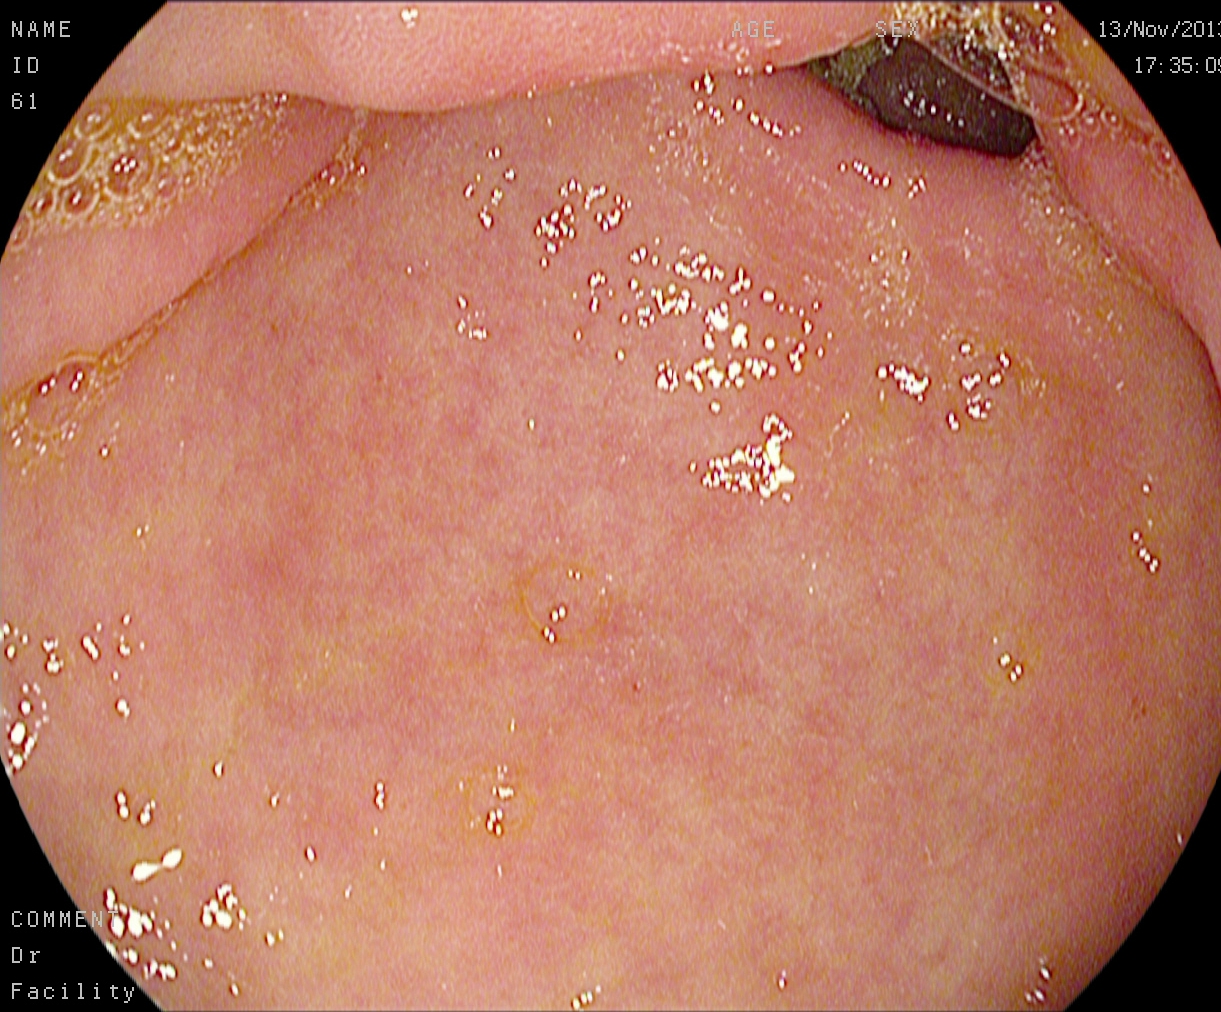{"modality": "gastroscopy", "tract": "upper GI tract", "finding": "pylorus"}